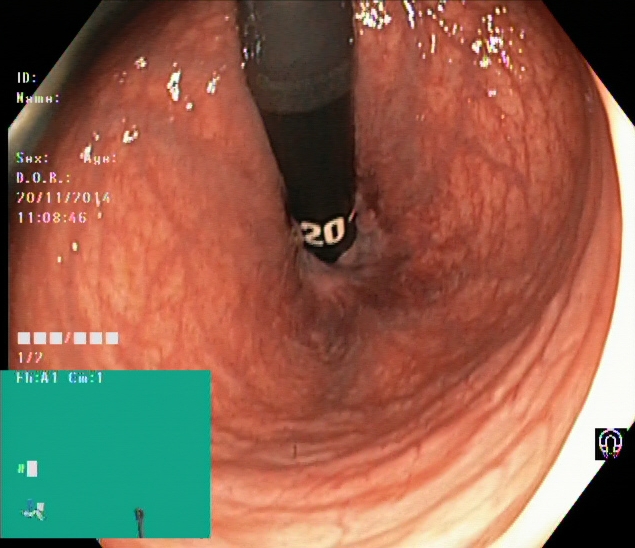modality: colonoscopy
tract: lower GI tract
finding: rectum in retroflexion